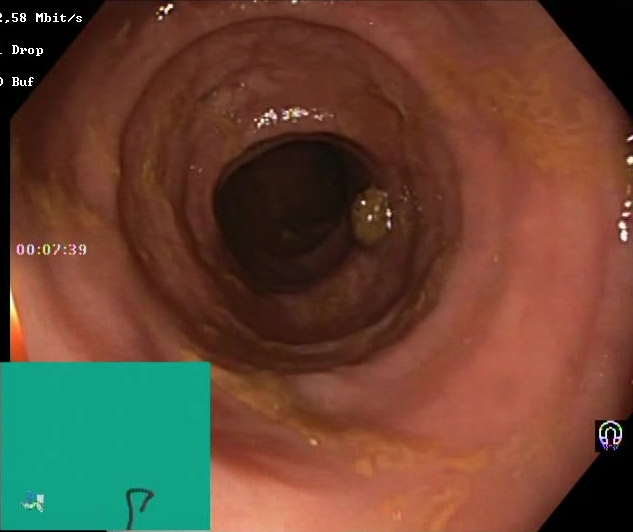Lower-GI endoscopy. Finding: Boston Bowel Preparation Scale score 2–3 (adequate preparation).